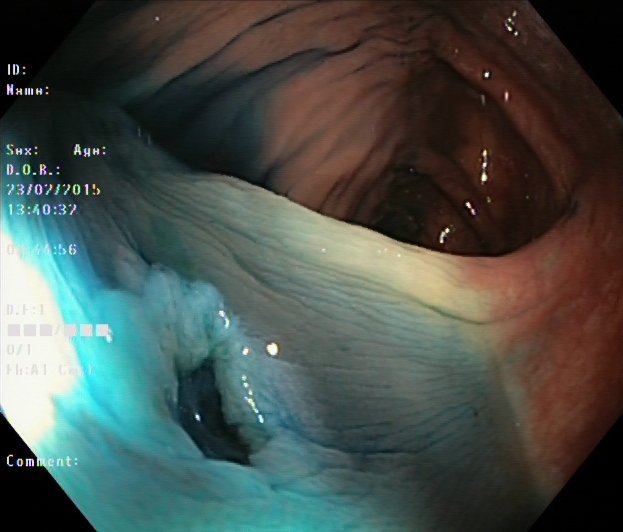Endoscopy image of the lower GI tract showing dyed resection margins (post-polypectomy).